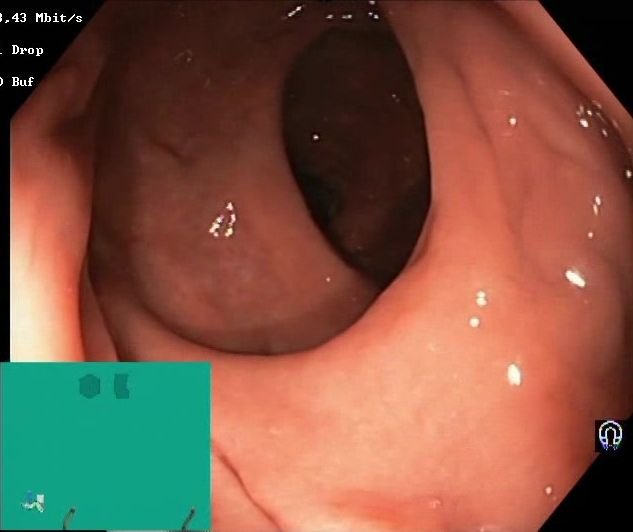BBPS score 2–3 (adequate preparation).